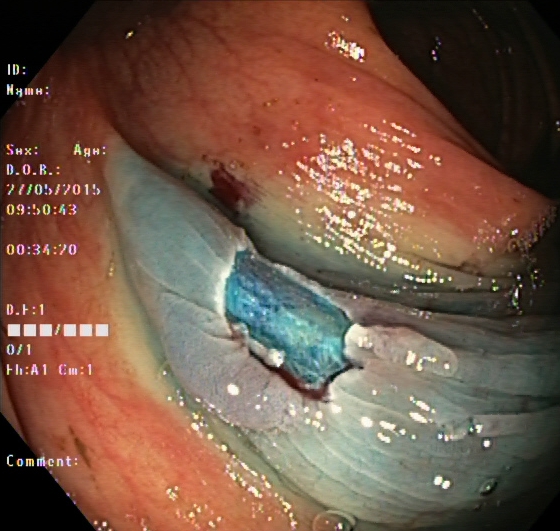Dyed resection margins (post-polypectomy).